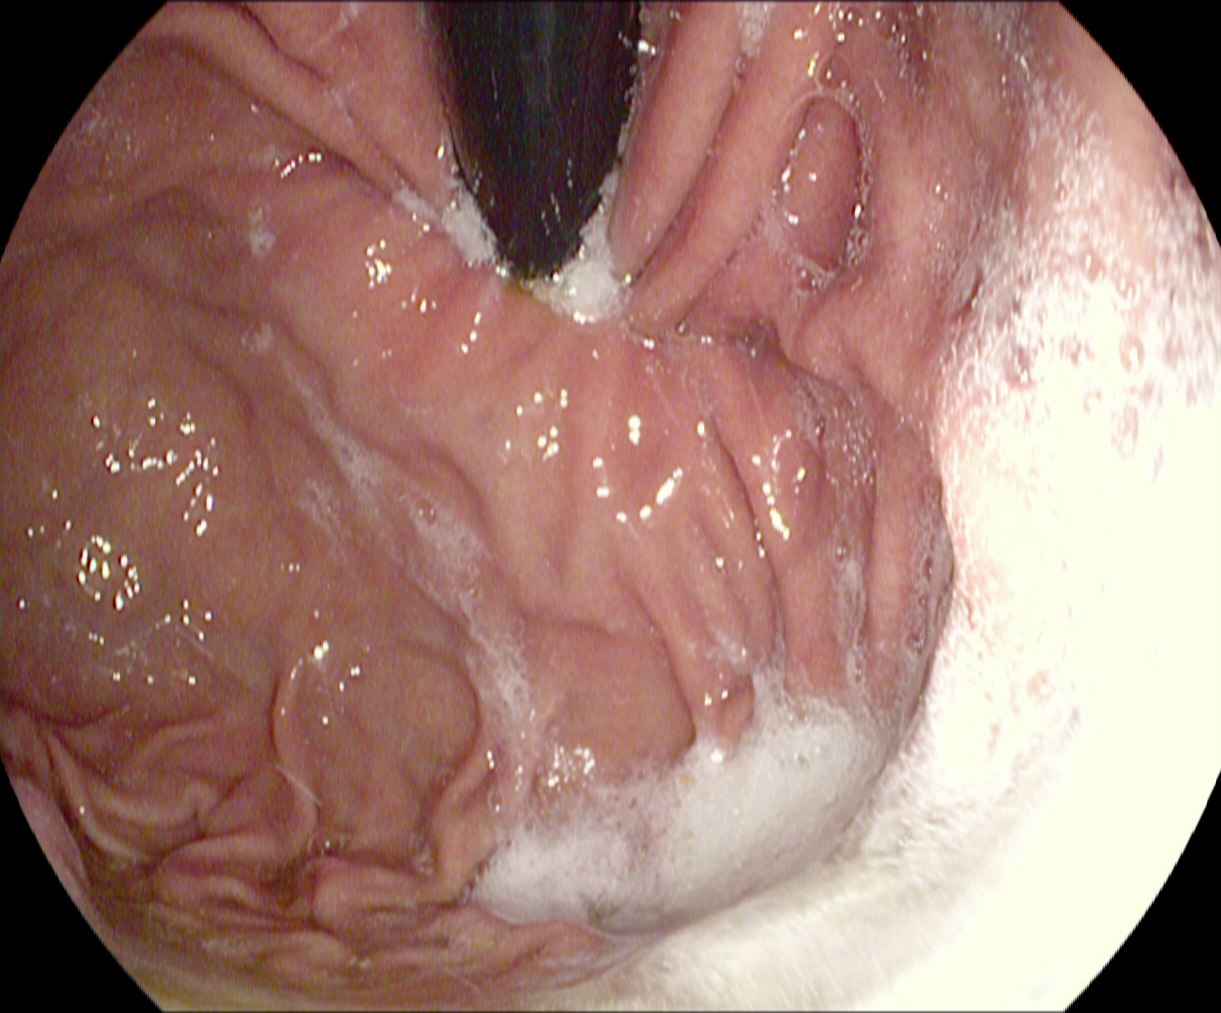modality: EGD | finding: stomach in retroflexion